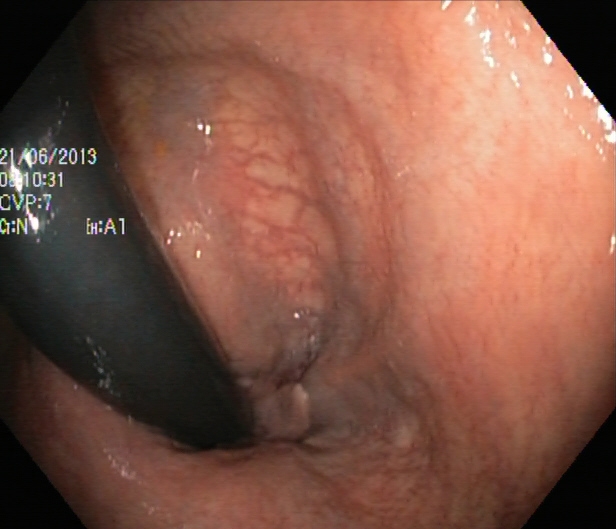Colonoscopy — rectum in retroflexion.